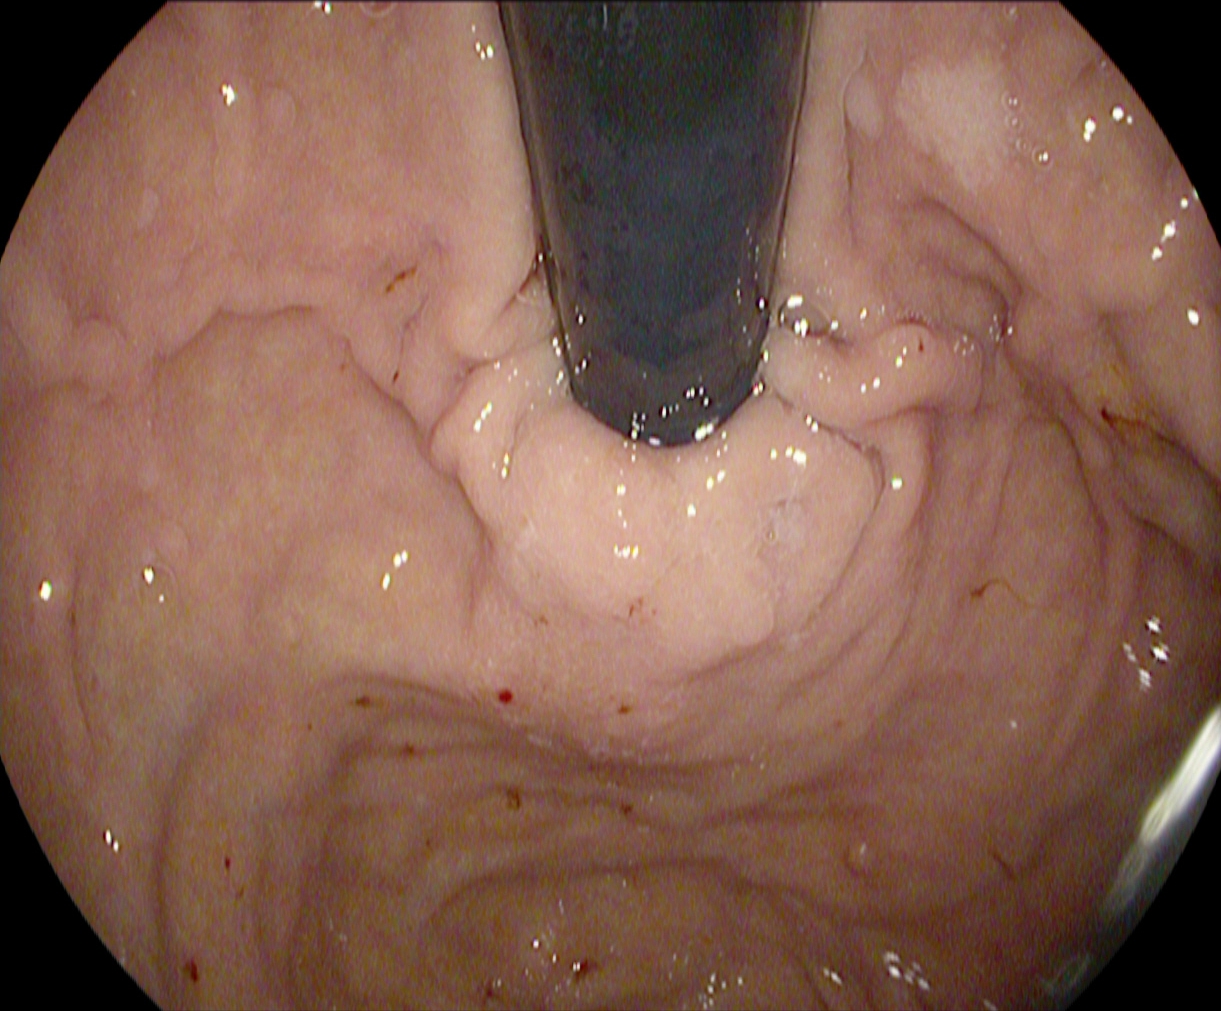GI endoscopy image of the upper GI tract showing stomach in retroflexion.